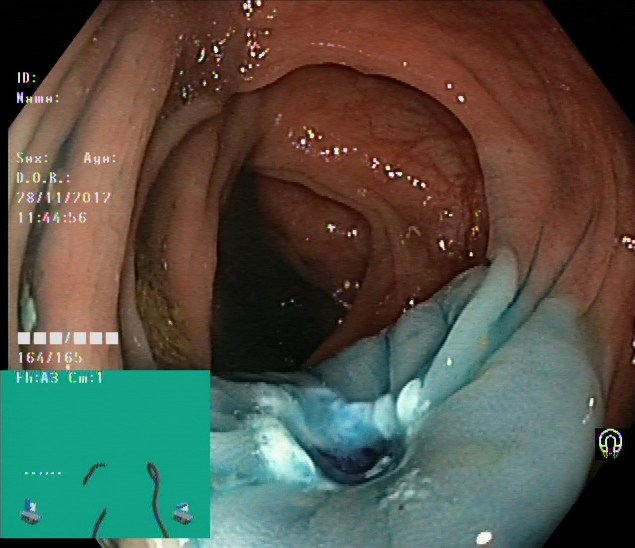modality: colonoscopy | finding: dyed resection margins (post-polypectomy)